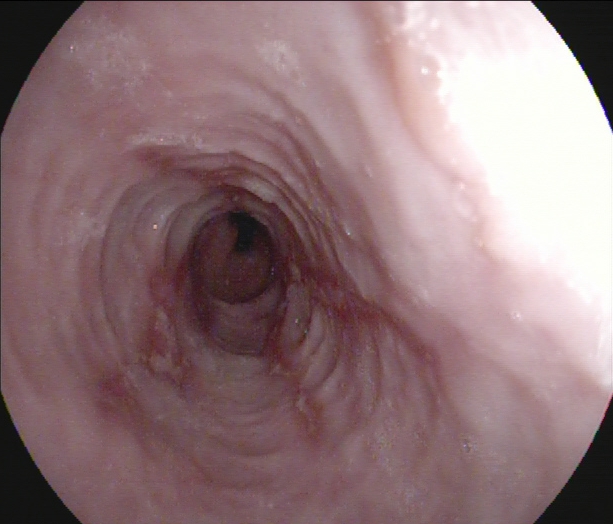Upper-GI endoscopy. Tract: upper GI tract. Finding: reflux esophagitis, LA grade B–D.